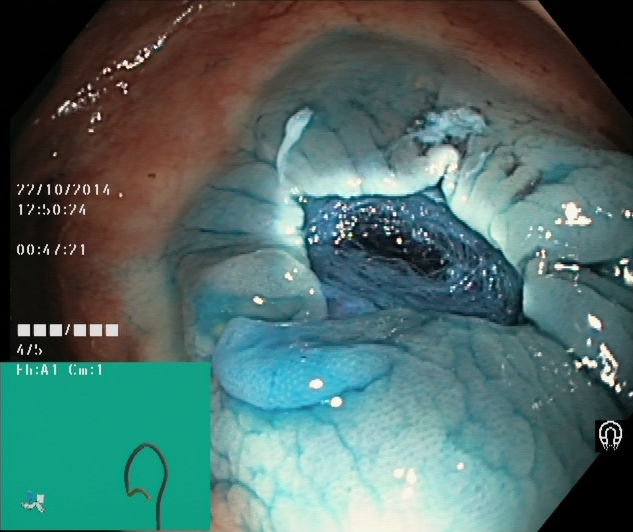Lower-GI endoscopy. Tract: lower GI tract. Finding: dyed resection margins (post-polypectomy).